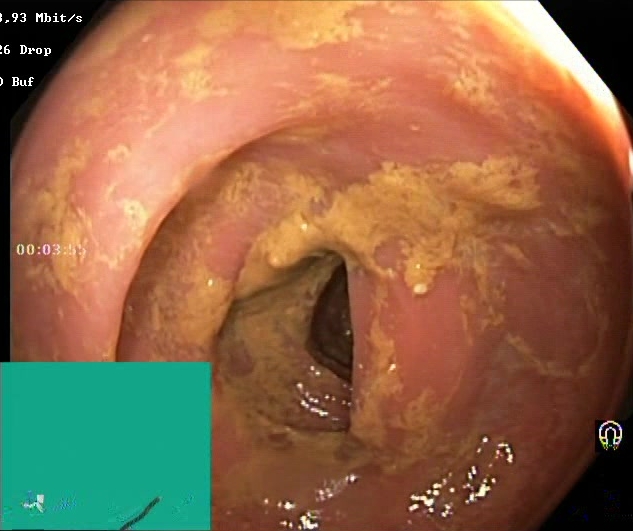modality: lower gastrointestinal endoscopy
tract: lower GI tract
category: mucosal-view quality
finding: Boston Bowel Preparation Scale score 0–1 (inadequate preparation)